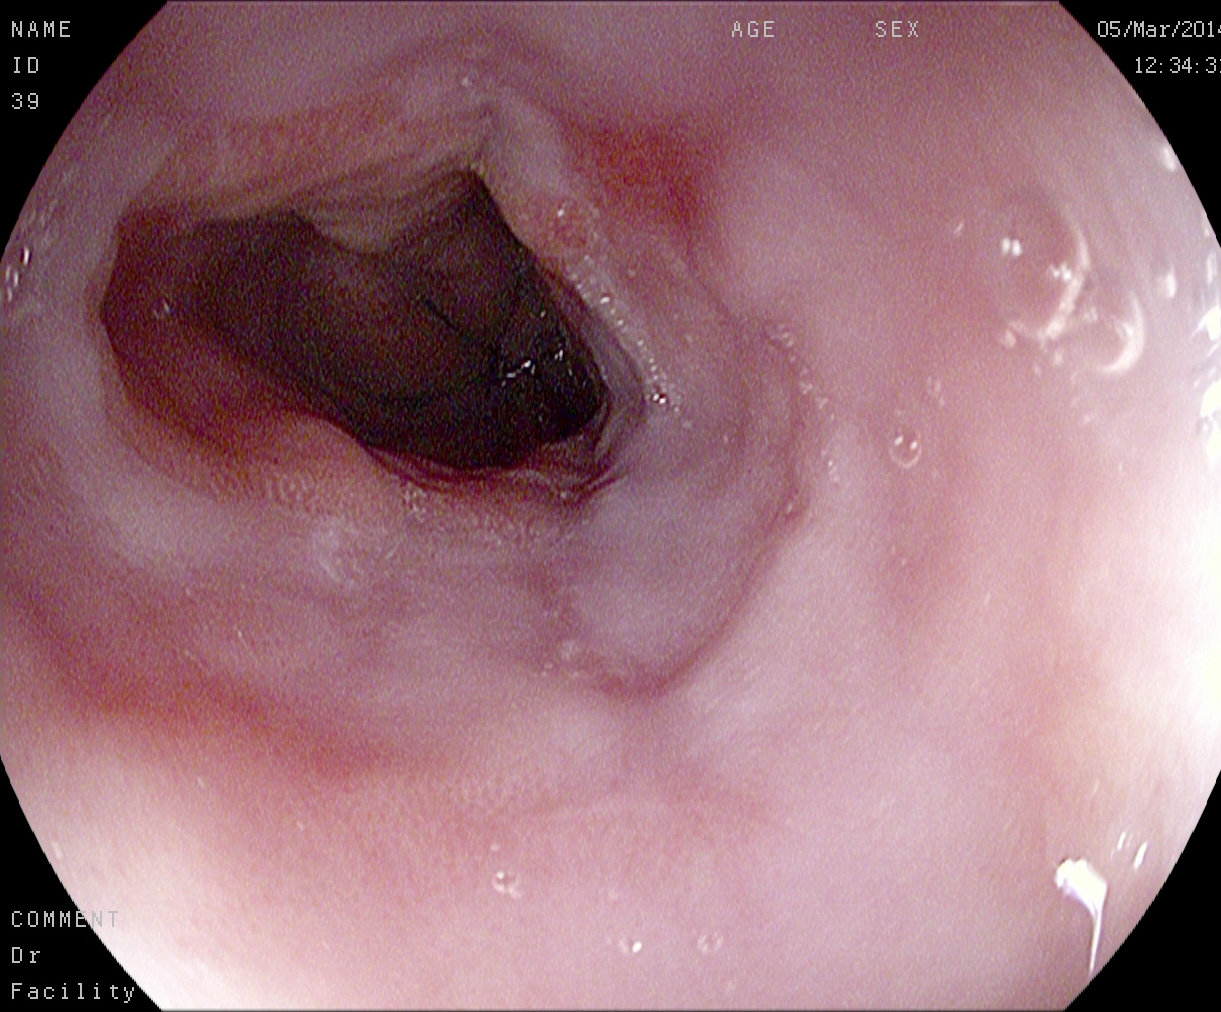This endoscopic image shows reflux esophagitis, Los Angeles grade A.